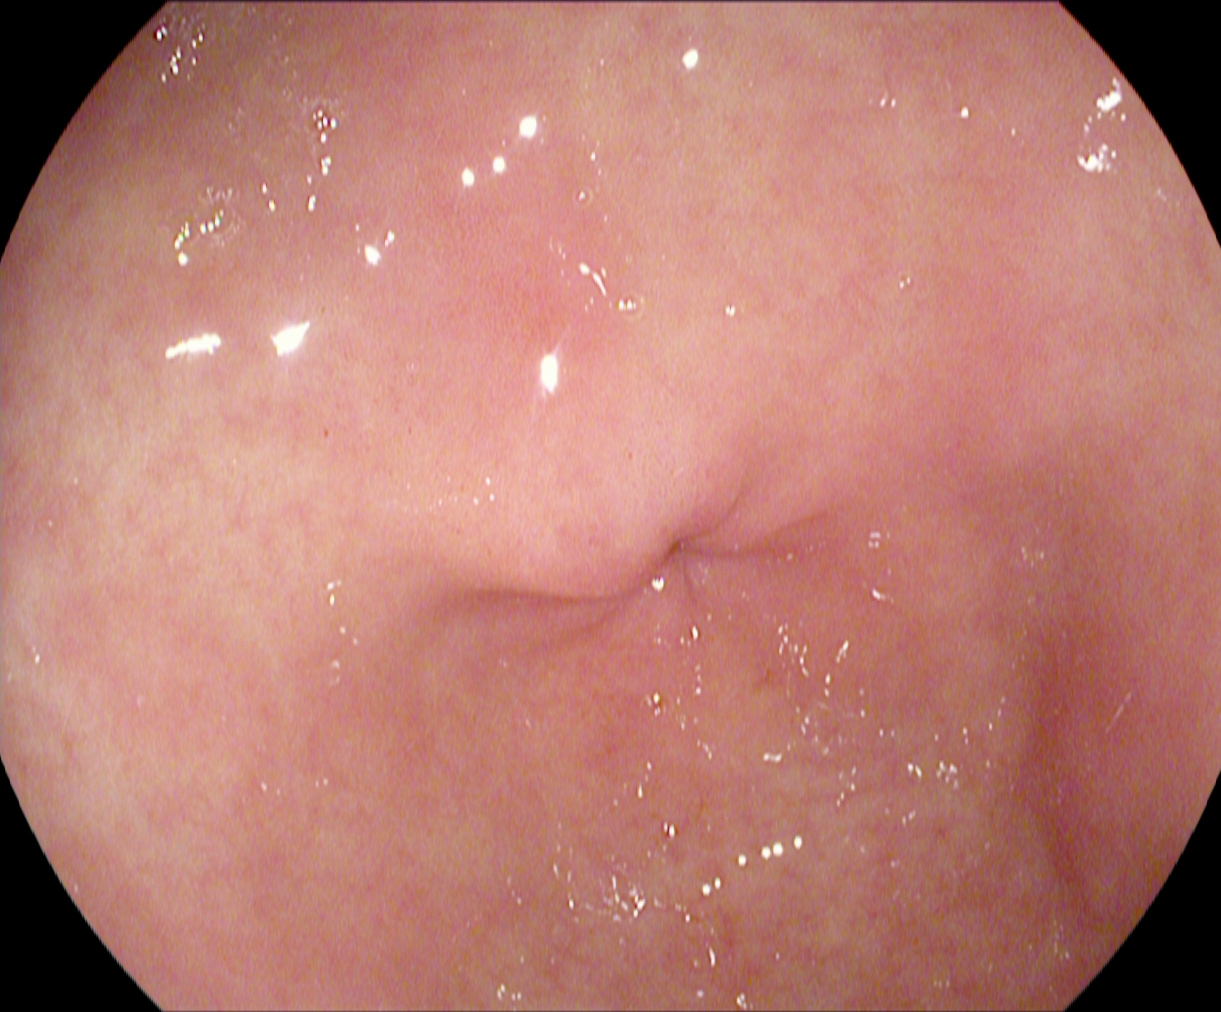PROCEDURE: Gastroscopy.
CATEGORY: Anatomical landmark.
FINDINGS: Pylorus.